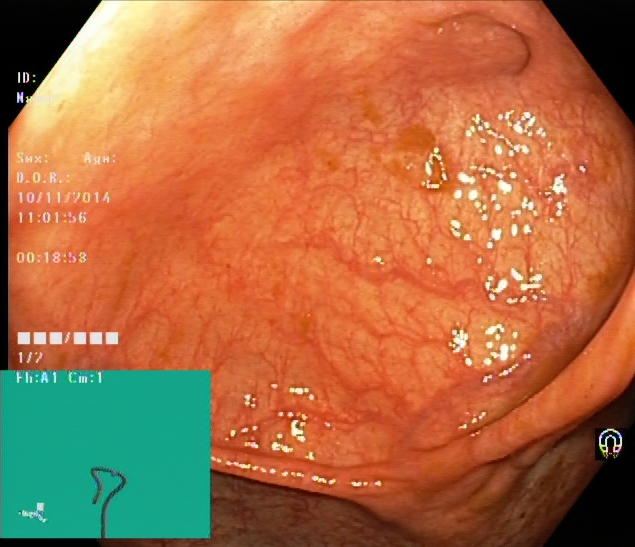Colonoscopy. Tract: lower GI tract. Finding: cecum.